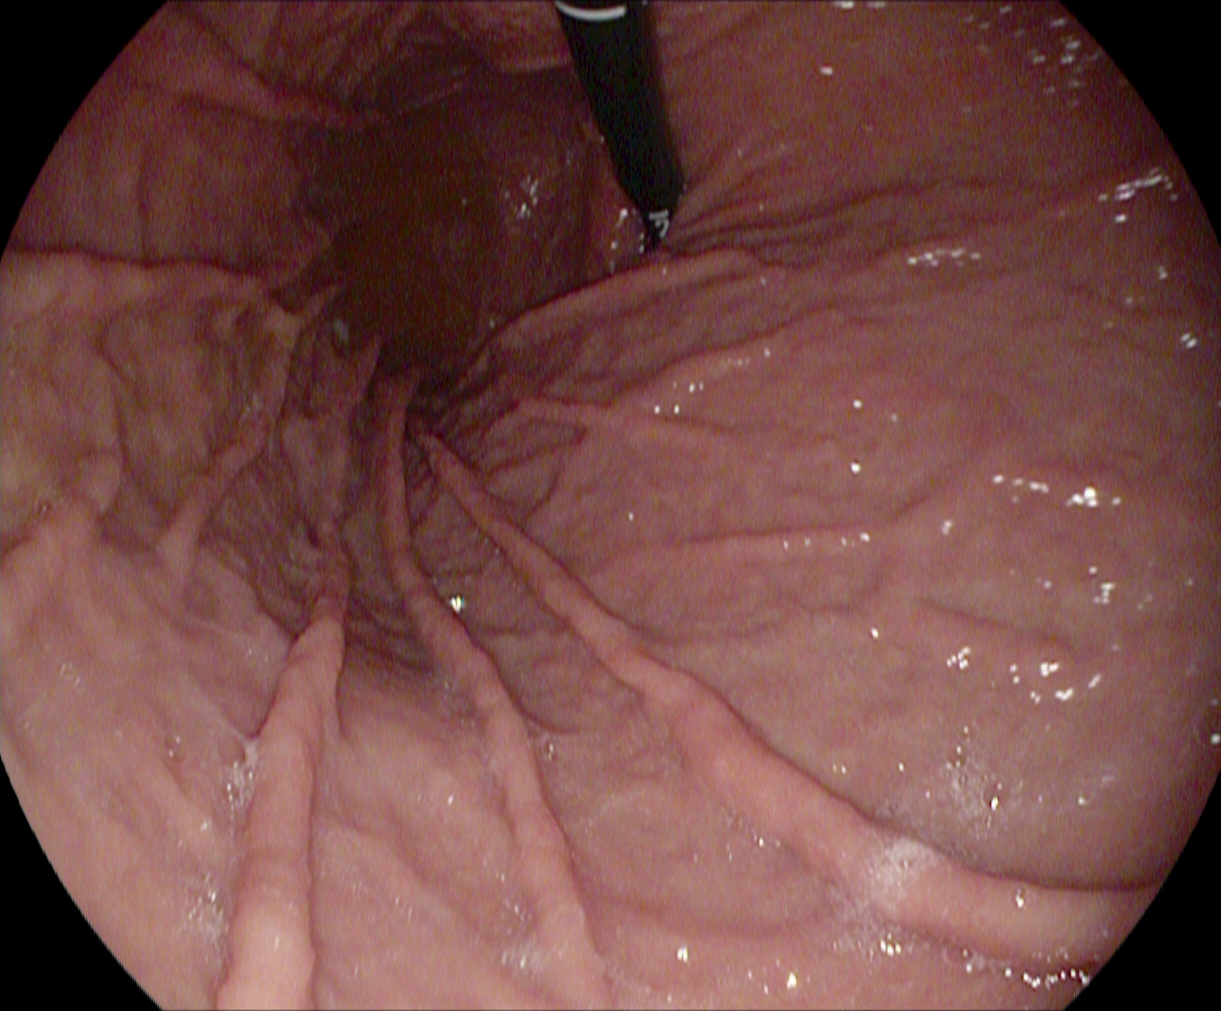PROCEDURE: Gastroscopy.
FINDINGS: Stomach in retroflexion.